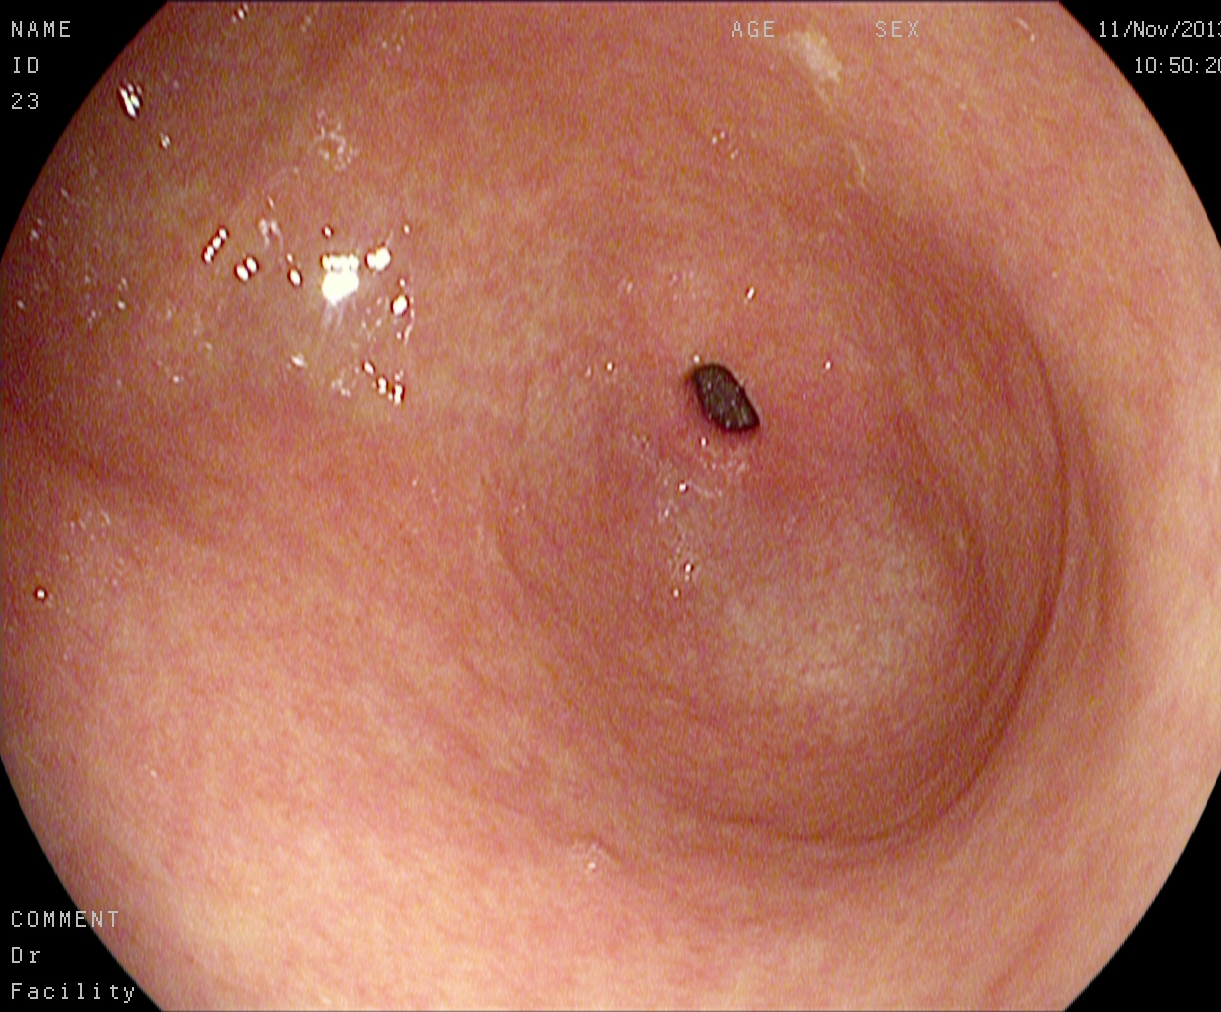Endoscopic image showing pylorus.